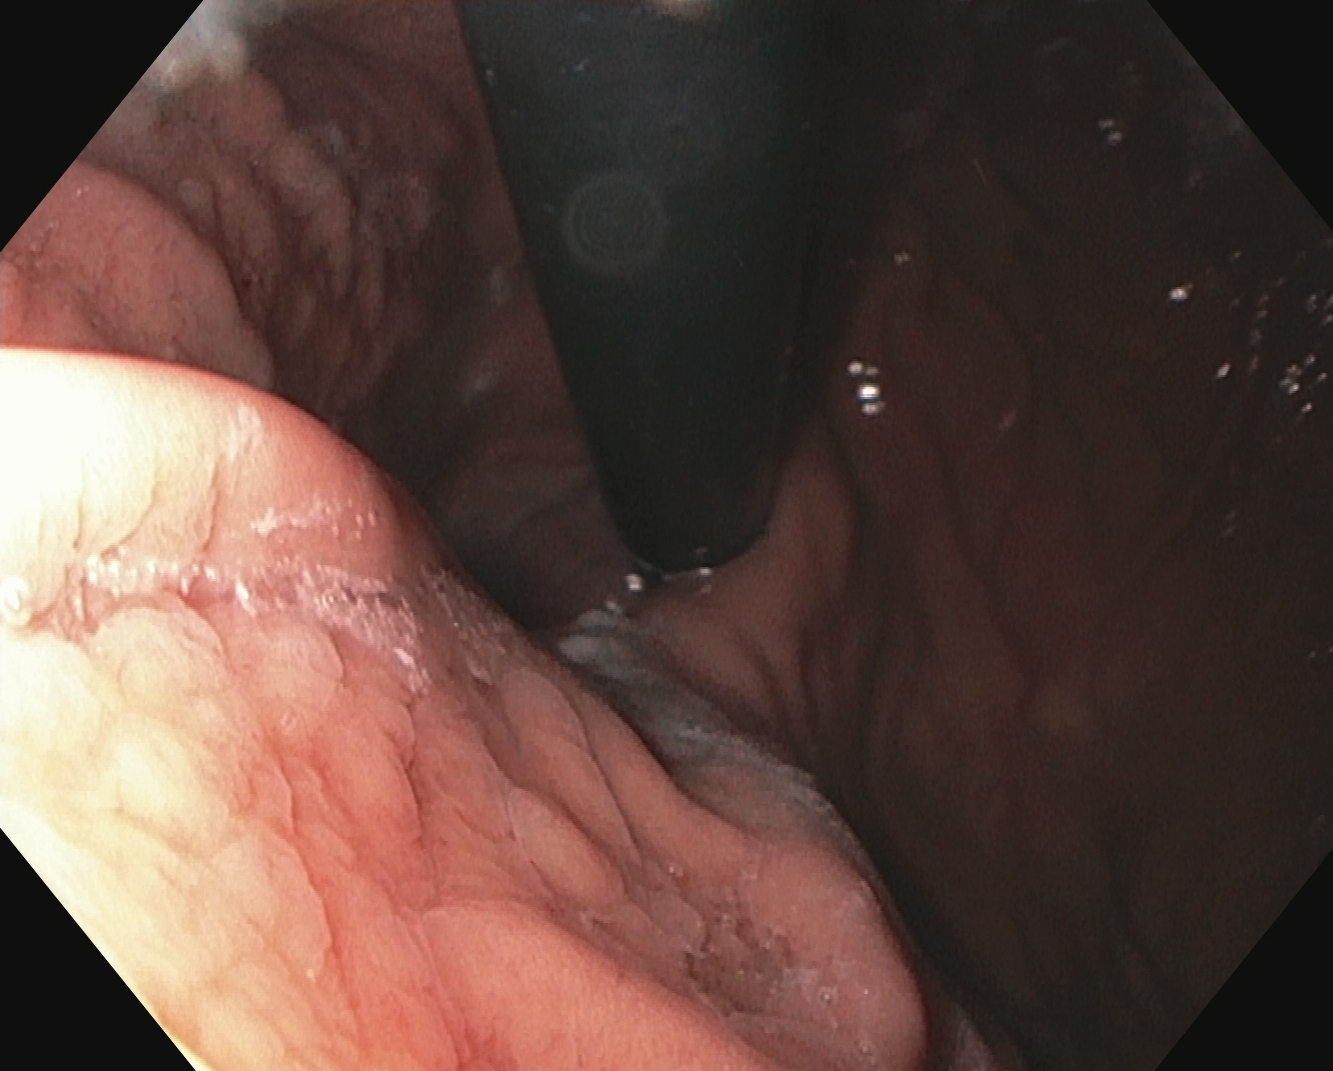Upper-GI endoscopy. Tract: upper GI tract. Finding: stomach in retroflexion.